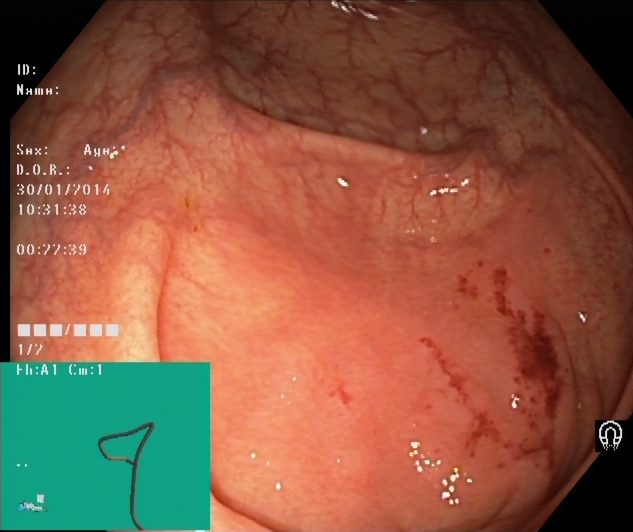modality: lower gastrointestinal endoscopy; tract: lower GI tract; category: anatomical landmark; finding: cecum